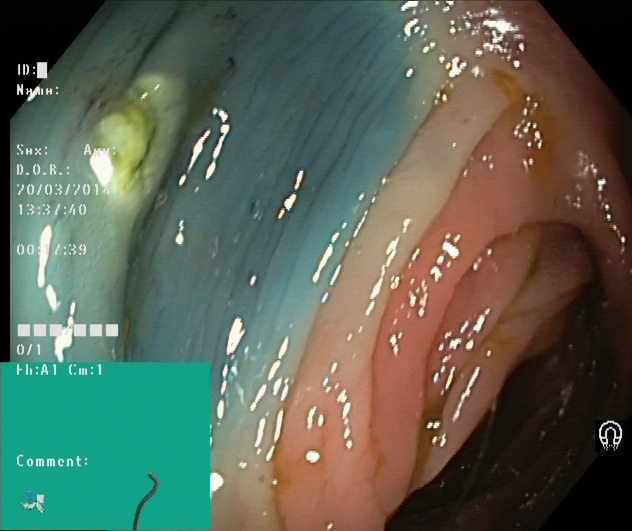Lower-GI endoscopy. Tract: lower GI tract. Finding: dyed resection margins (post-polypectomy).